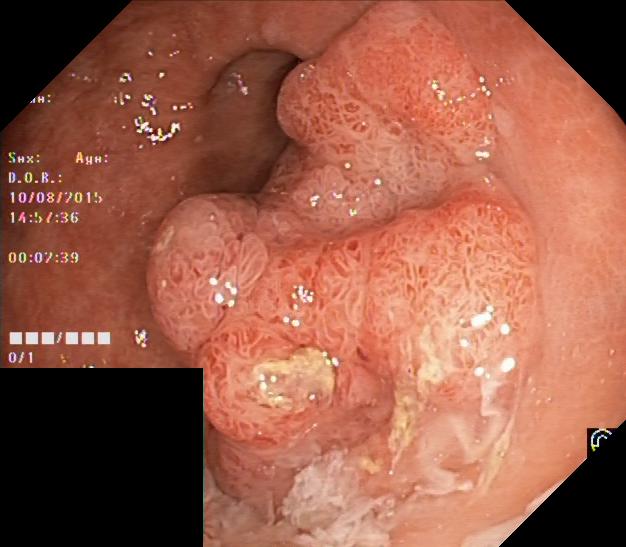This endoscopic image of the lower GI tract shows colorectal polyp(s).